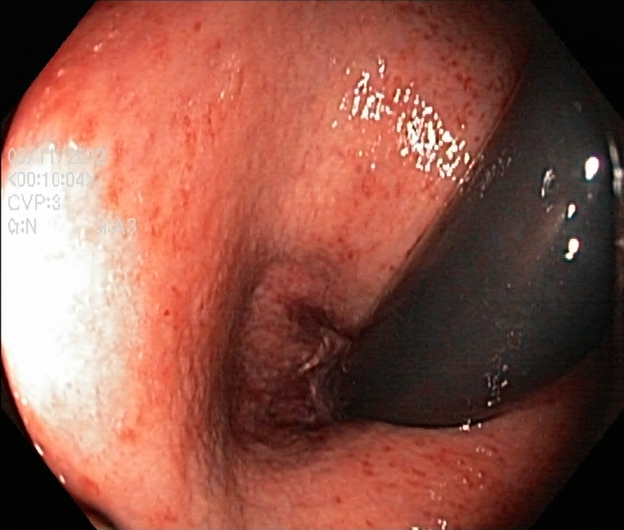Lower-GI endoscopy. Anatomical landmark. Finding: rectum in retroflexion.